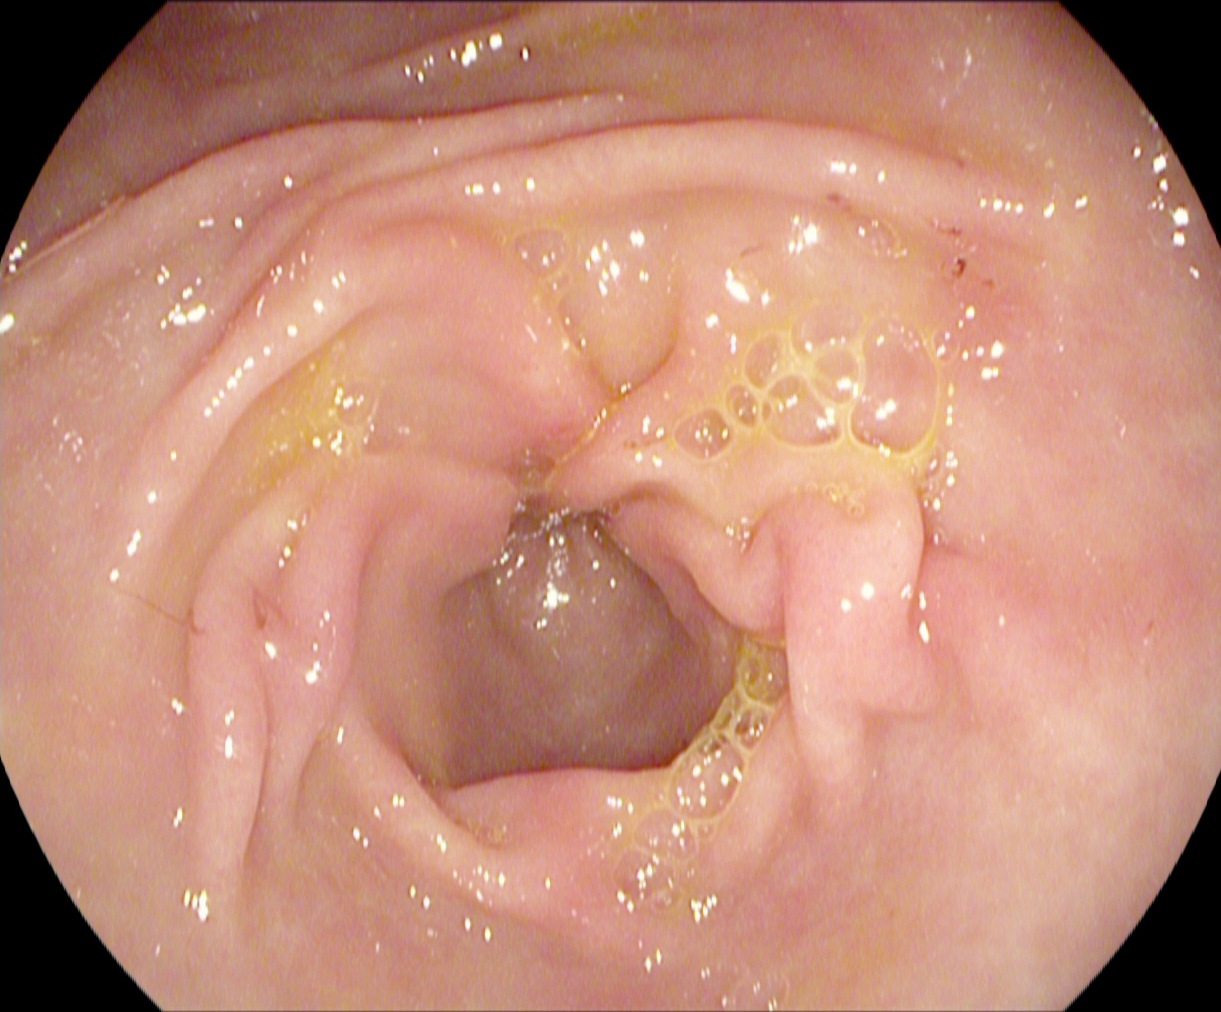Esophagogastroduodenoscopy. Tract: upper GI tract. Finding: pylorus.